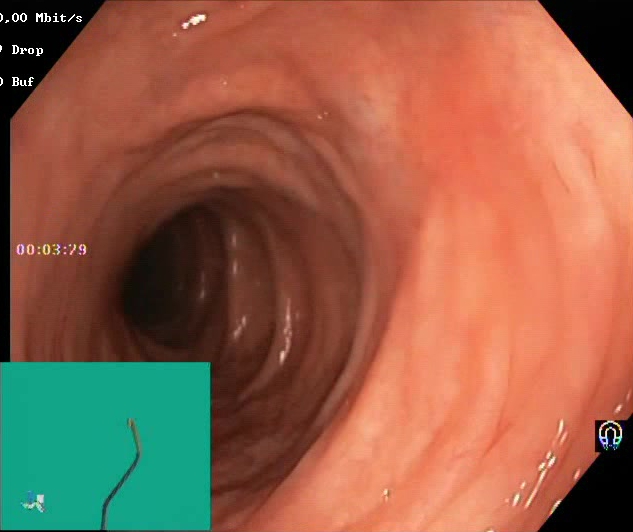Lower-GI endoscopy — BBPS score 2–3 (adequate preparation).